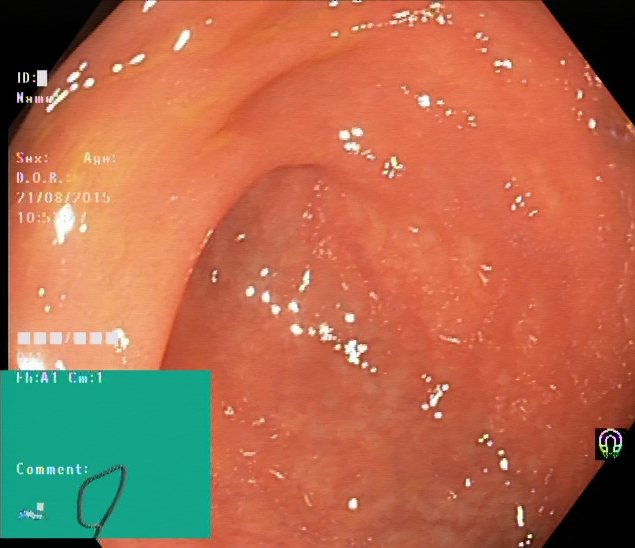Cecum.